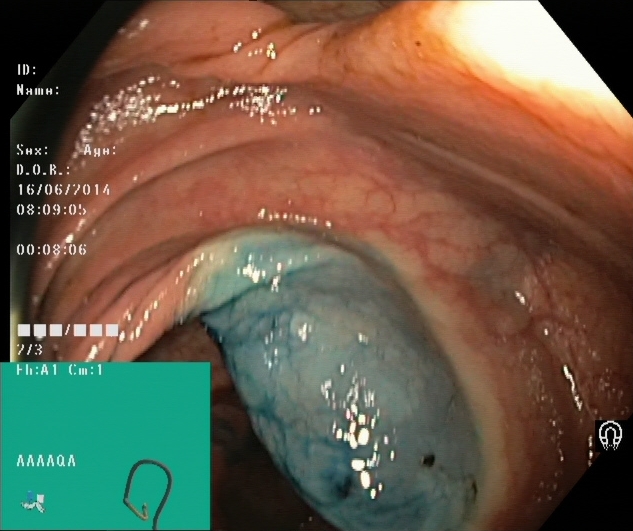modality: colonoscopy; finding: dyed and lifted polyp (pre-resection)